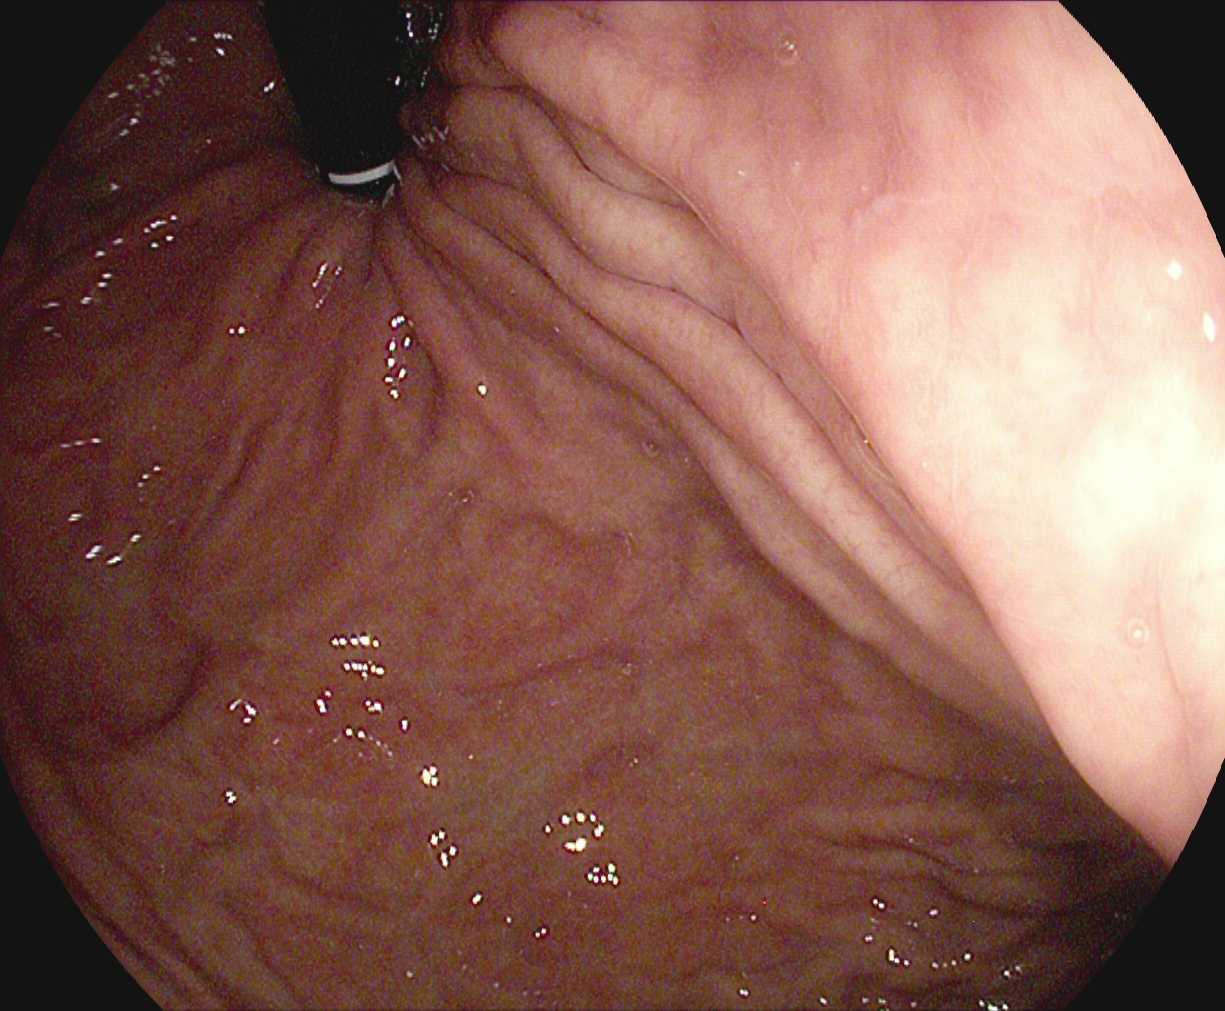This endoscopic image of the upper GI tract shows stomach in retroflexion.